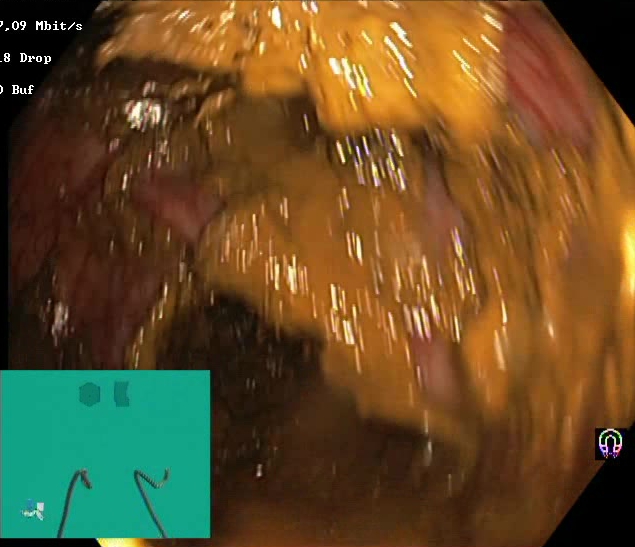This endoscopic image shows Boston Bowel Preparation Scale score 0–1 (inadequate preparation).